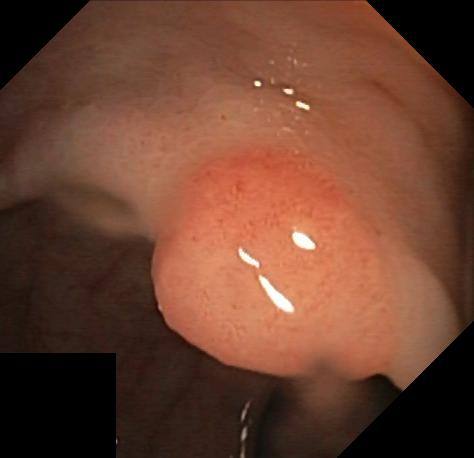Colorectal polyp(s).